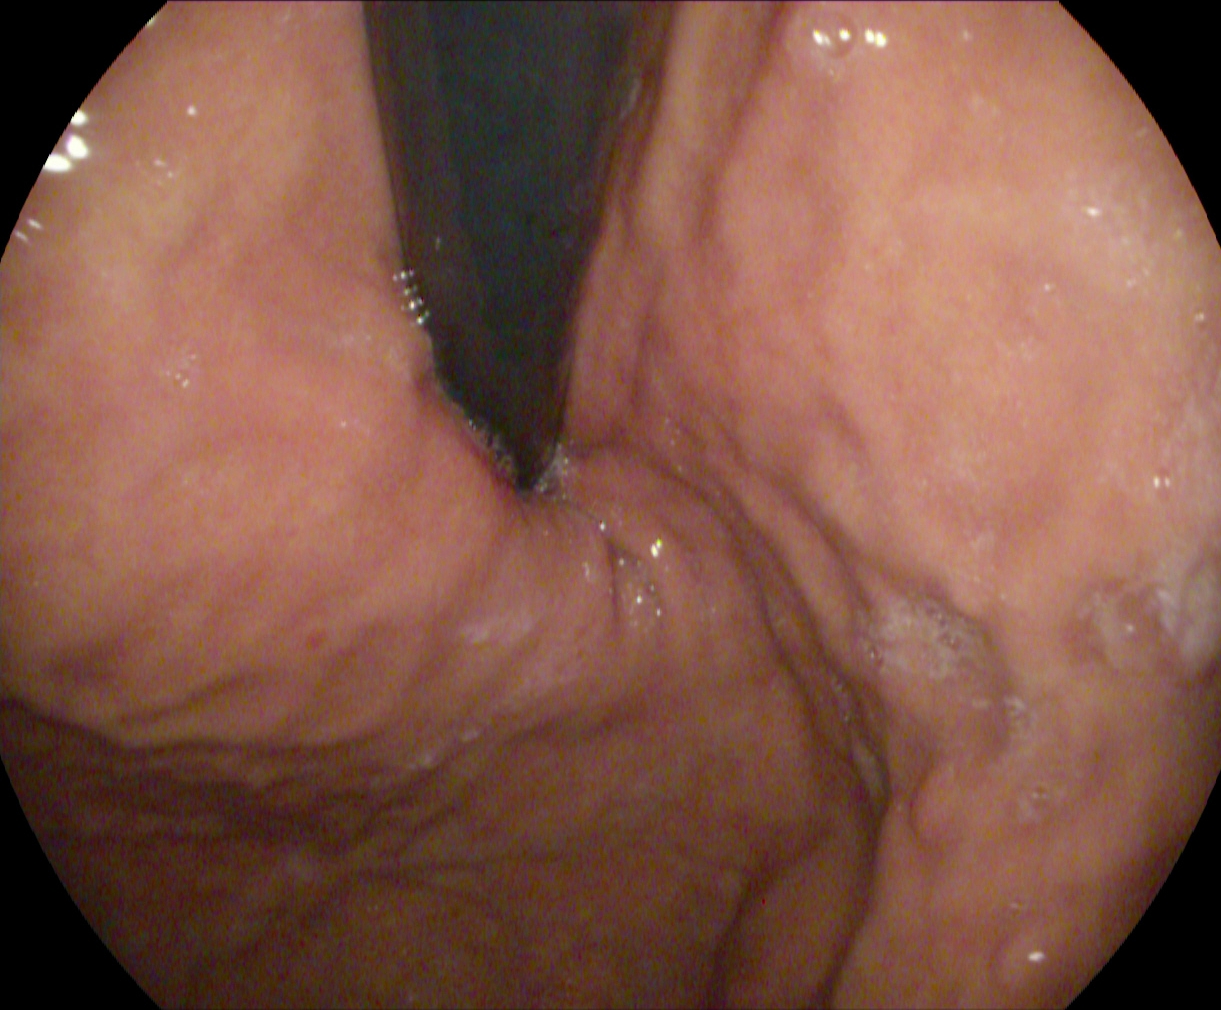Gastrointestinal endoscopy image of the upper GI tract showing stomach in retroflexion.